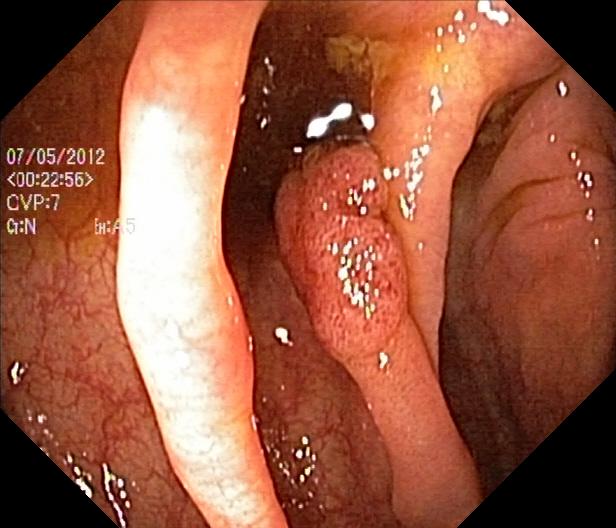PROCEDURE: Colonoscopy.
CATEGORY: Pathological finding.
FINDINGS: Colorectal polyp(s).